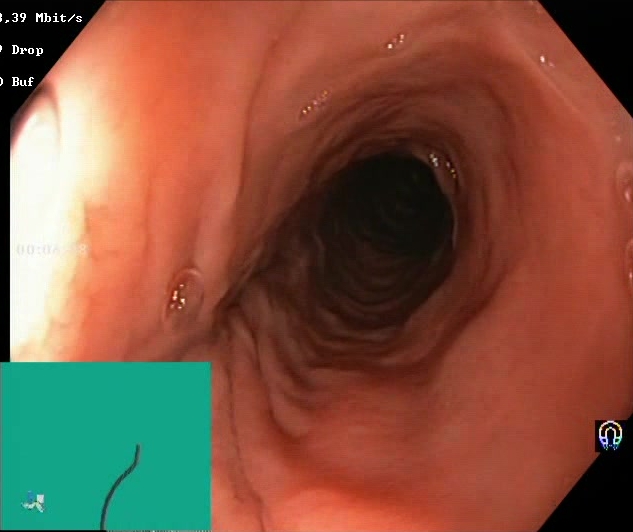GI endoscopy image showing Boston Bowel Preparation Scale score 2–3 (adequate preparation).